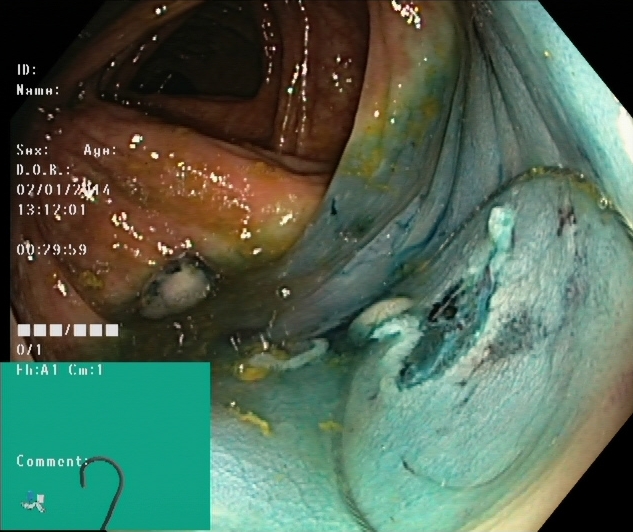{"modality": "lower-GI endoscopy", "tract": "lower GI tract", "finding": "dyed resection margins (post-polypectomy)"}